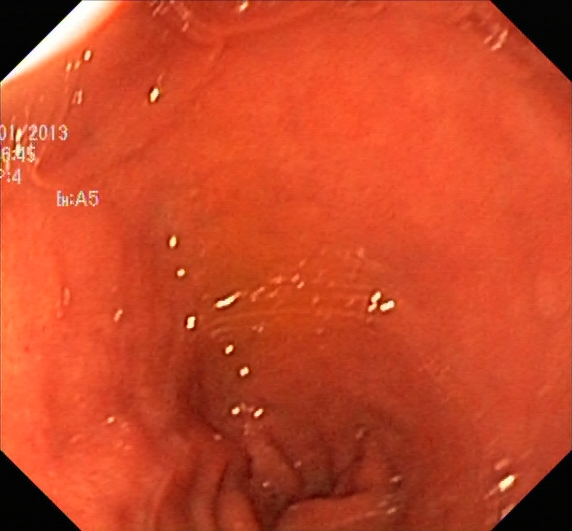{"modality": "colonoscopy", "tract": "lower GI tract", "finding": "ulcerative colitis, Mayo endoscopic subscore 2"}